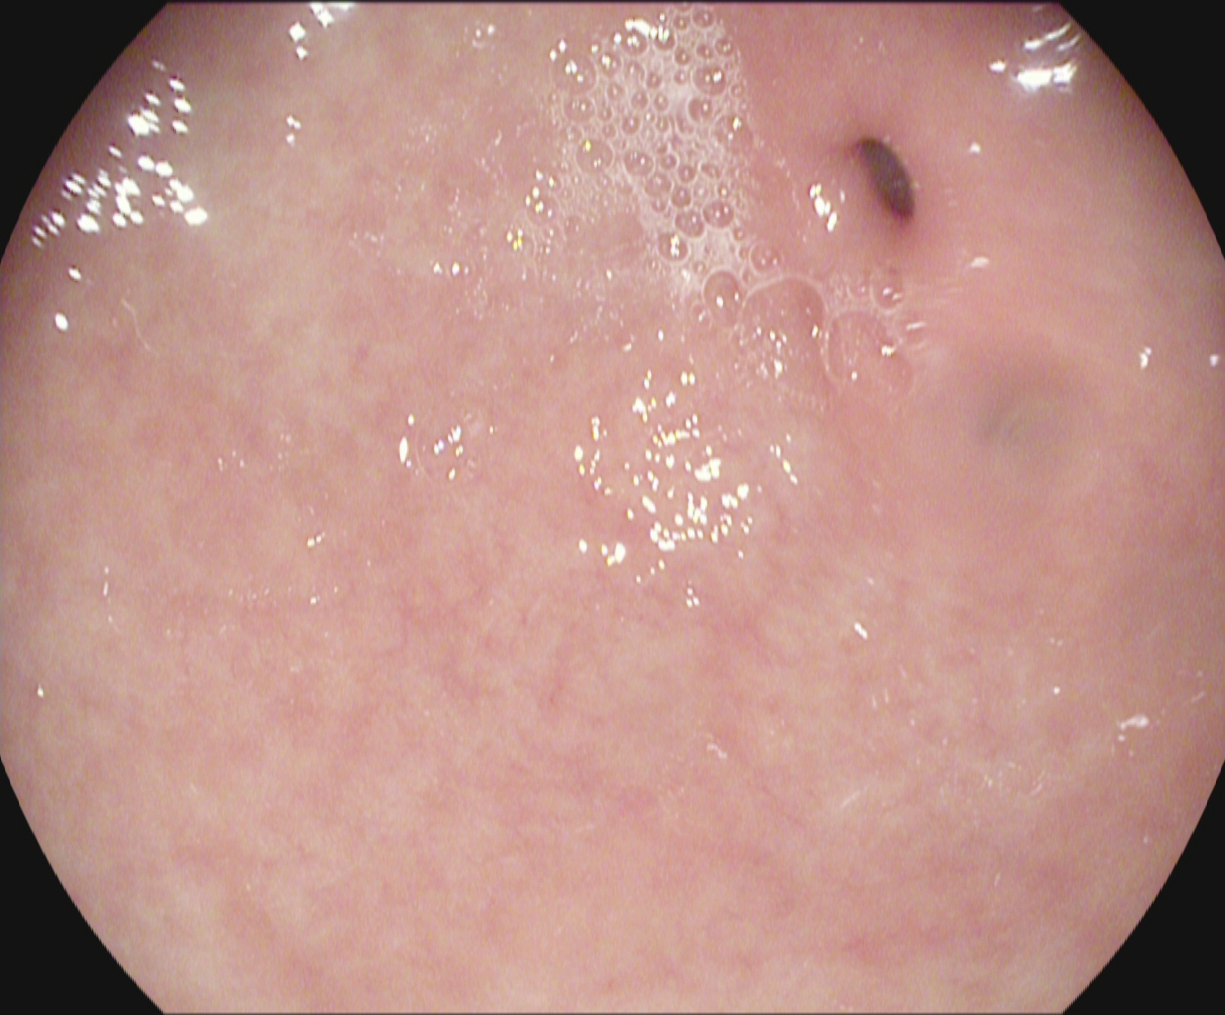EGD — pylorus.